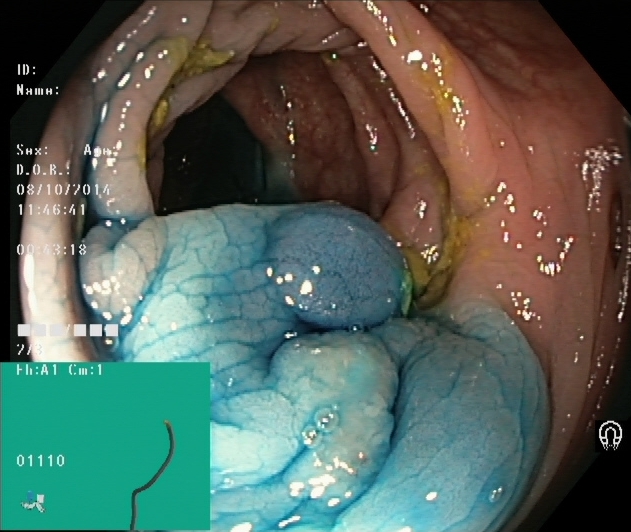modality: colonoscopy; finding: dyed and lifted polyp (pre-resection)